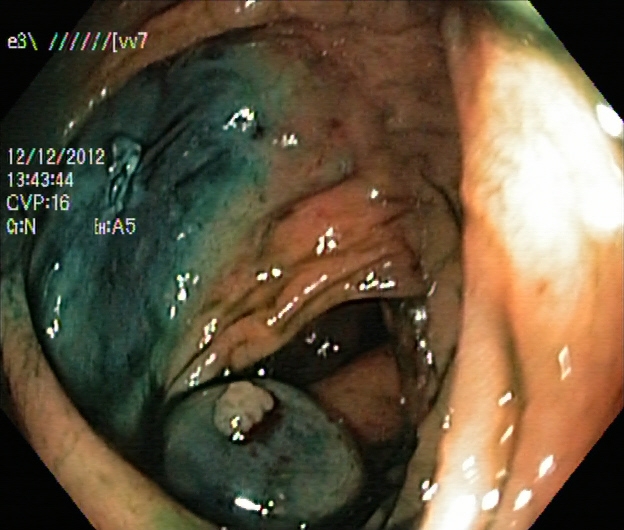Dyed and lifted polyp (pre-resection).